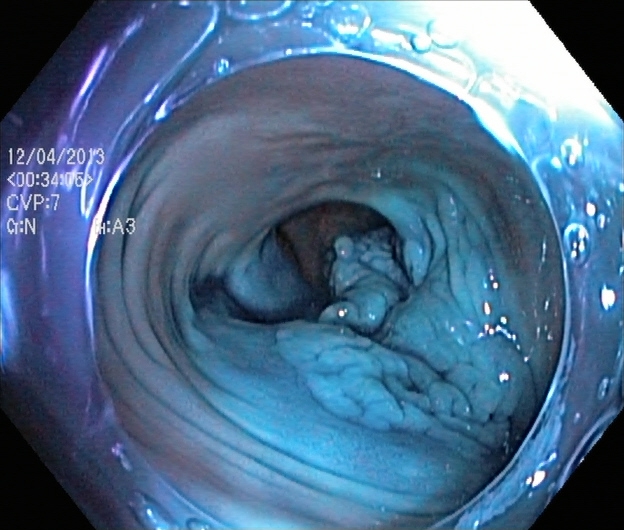This endoscopy frame of the lower GI tract shows dyed and lifted polyp (pre-resection).